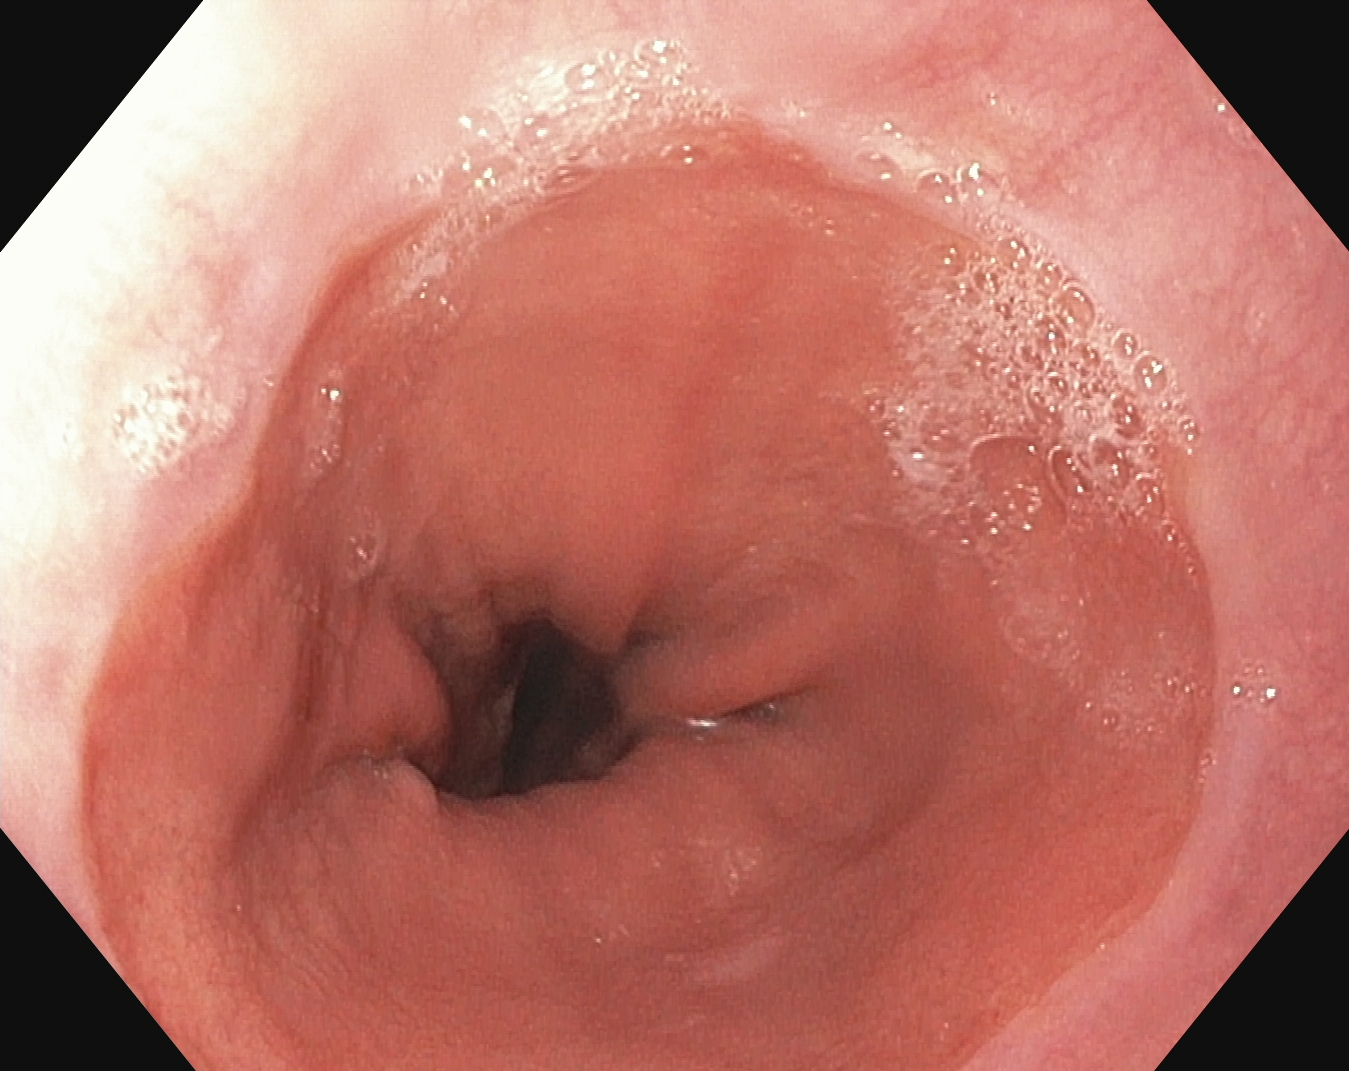Esophagogastroduodenoscopy. Tract: upper GI tract. Anatomical landmark. Finding: Z-line (gastroesophageal junction).